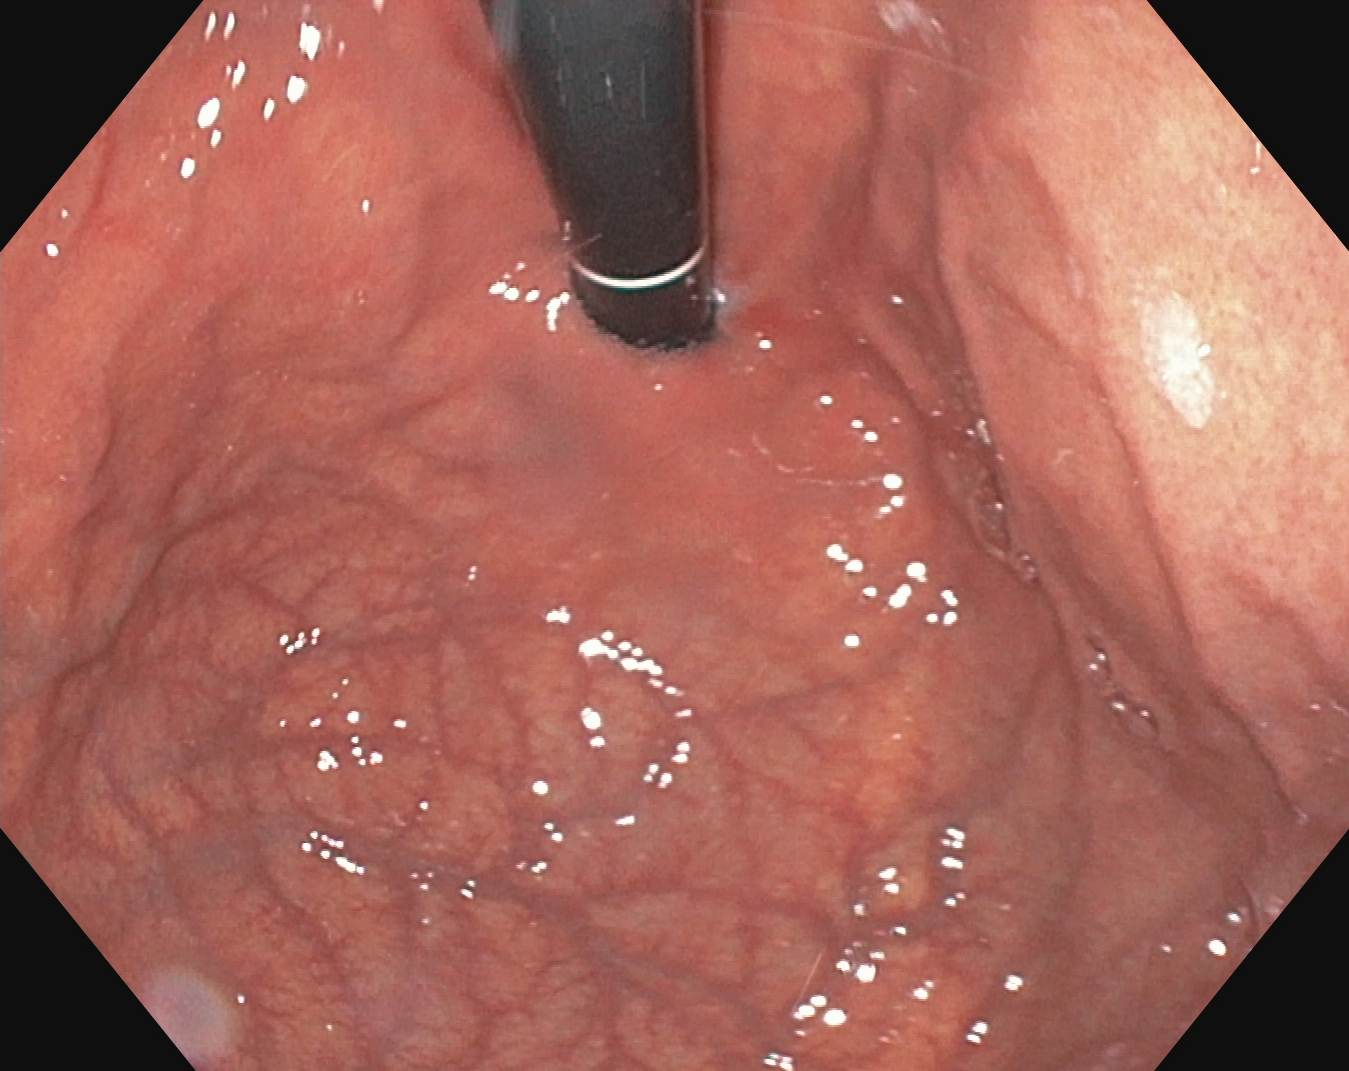This endoscopic image shows stomach in retroflexion.